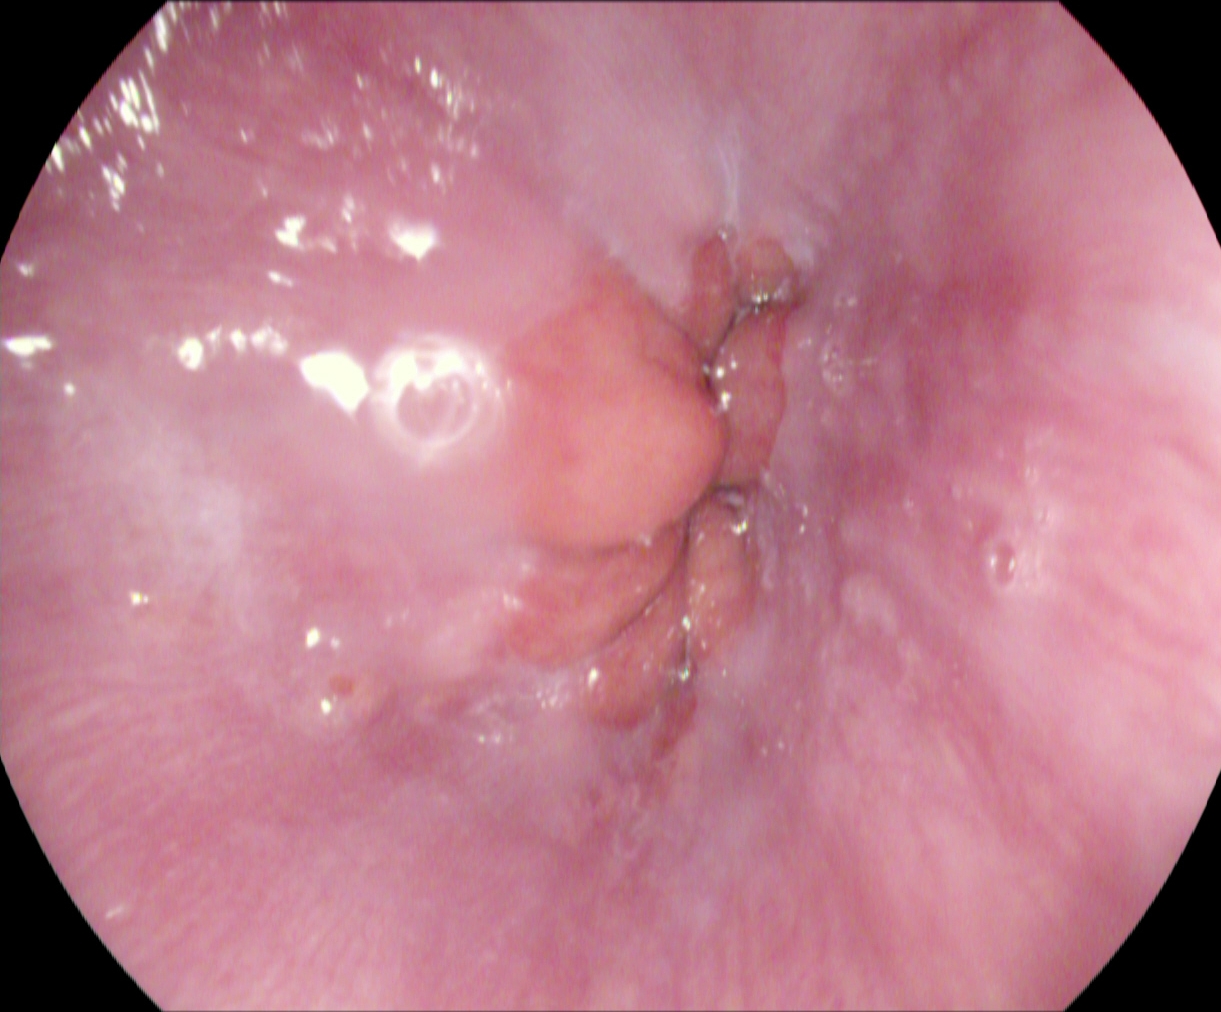PROCEDURE: EGD.
FINDINGS: Z-line (gastroesophageal junction).